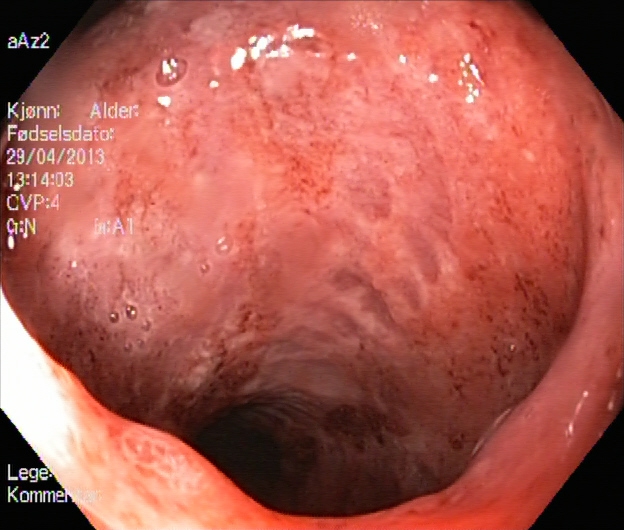Colonoscopy — UC, Mayo endoscopic subscore 3.